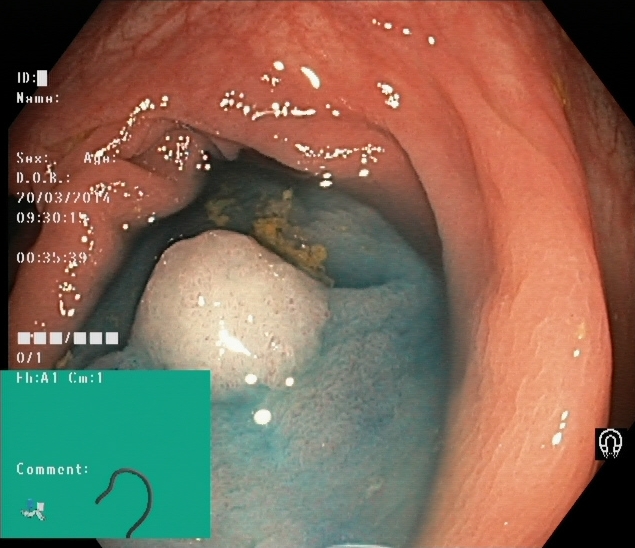PROCEDURE: Colonoscopy.
CATEGORY: Therapeutic intervention.
FINDINGS: Dyed and lifted polyp (pre-resection).